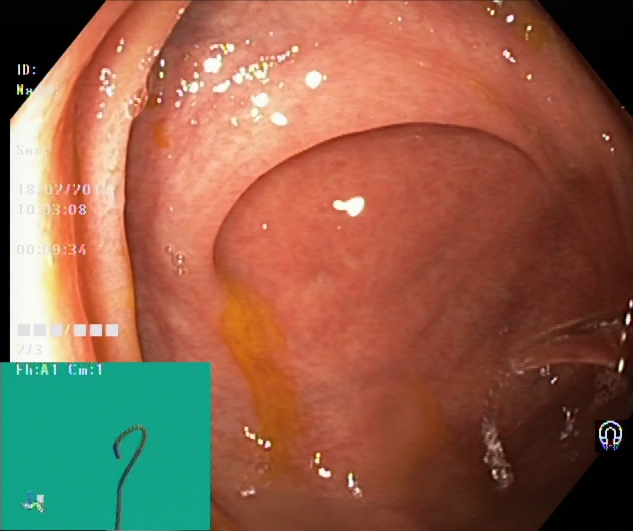modality: colonoscopy | tract: lower GI tract | finding: cecum